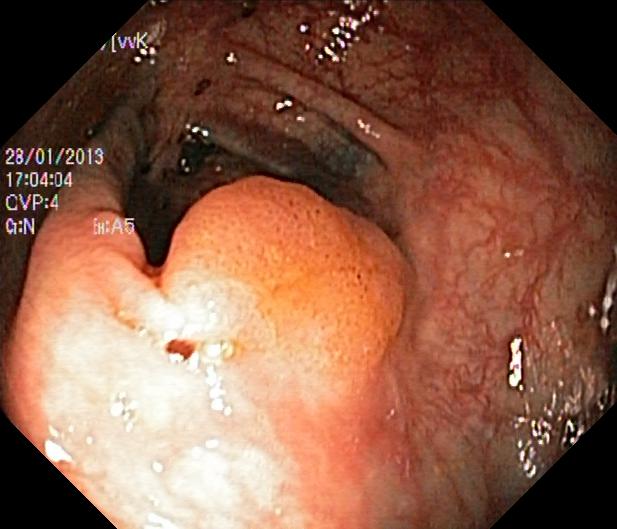PROCEDURE: Lower gastrointestinal endoscopy.
FINDINGS: Colorectal polyp(s).